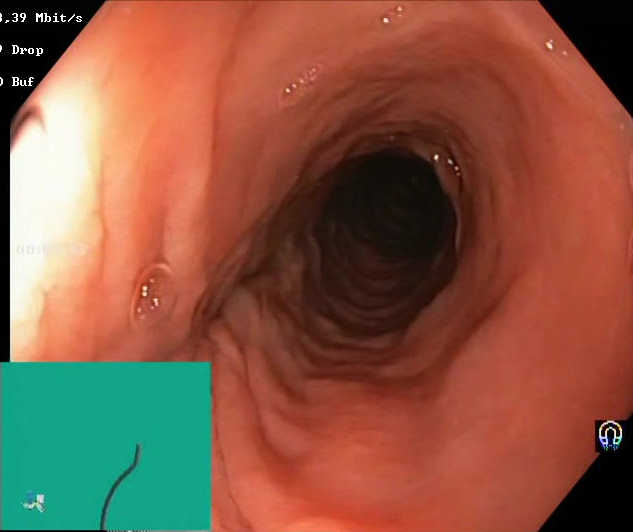{"modality": "lower-GI endoscopy", "category": "mucosal-view quality", "finding": "Boston Bowel Preparation Scale score 2\u20133 (adequate preparation)"}